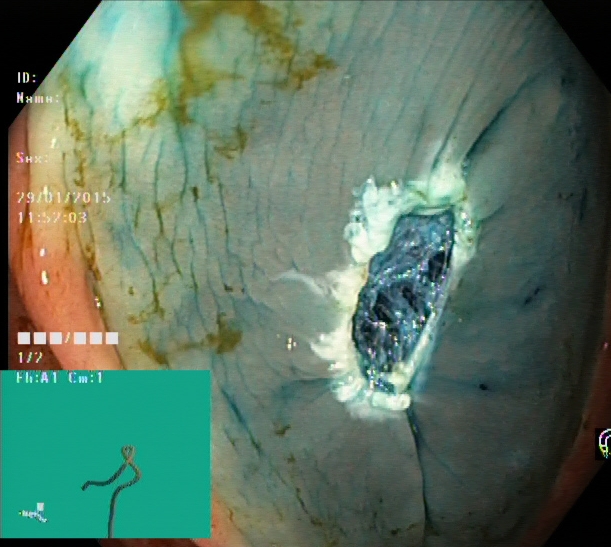modality: colonoscopy | tract: lower GI tract | finding: dyed resection margins (post-polypectomy)